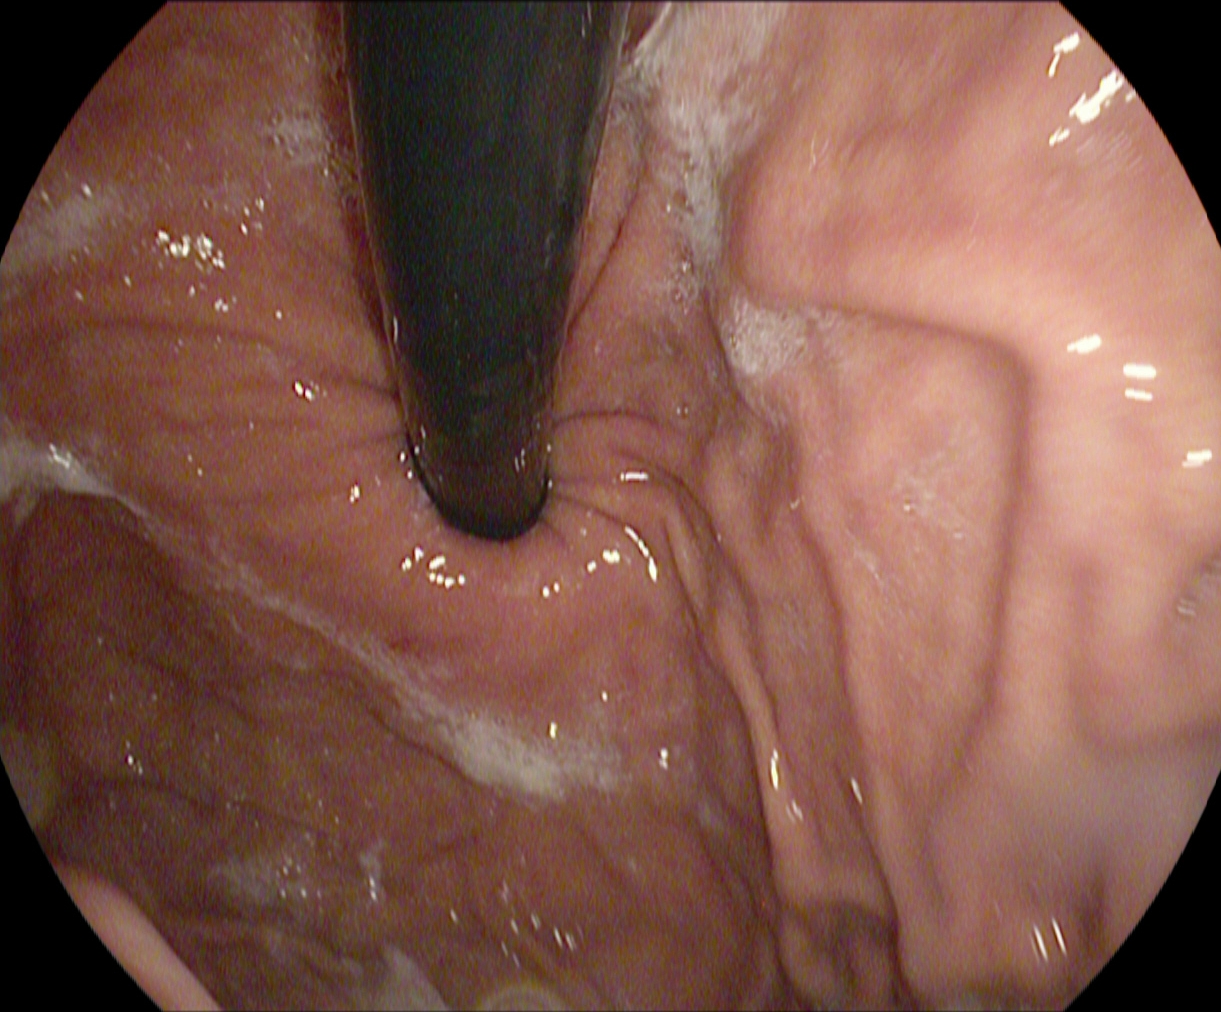PROCEDURE: EGD.
CATEGORY: Anatomical landmark.
FINDINGS: Stomach in retroflexion.